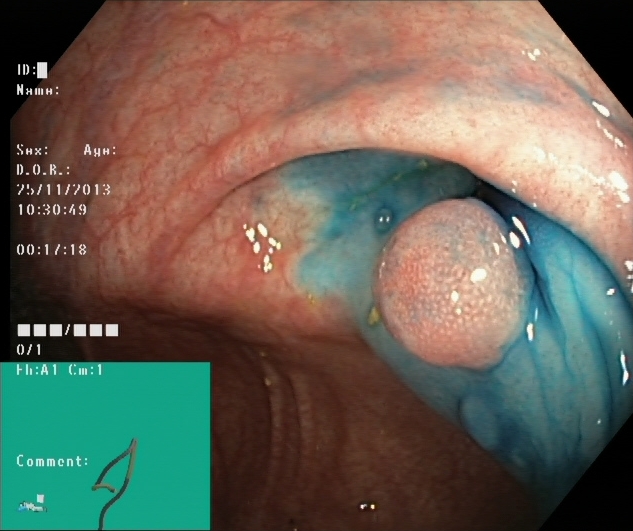This endoscopy frame of the lower GI tract shows dyed and lifted polyp (pre-resection).